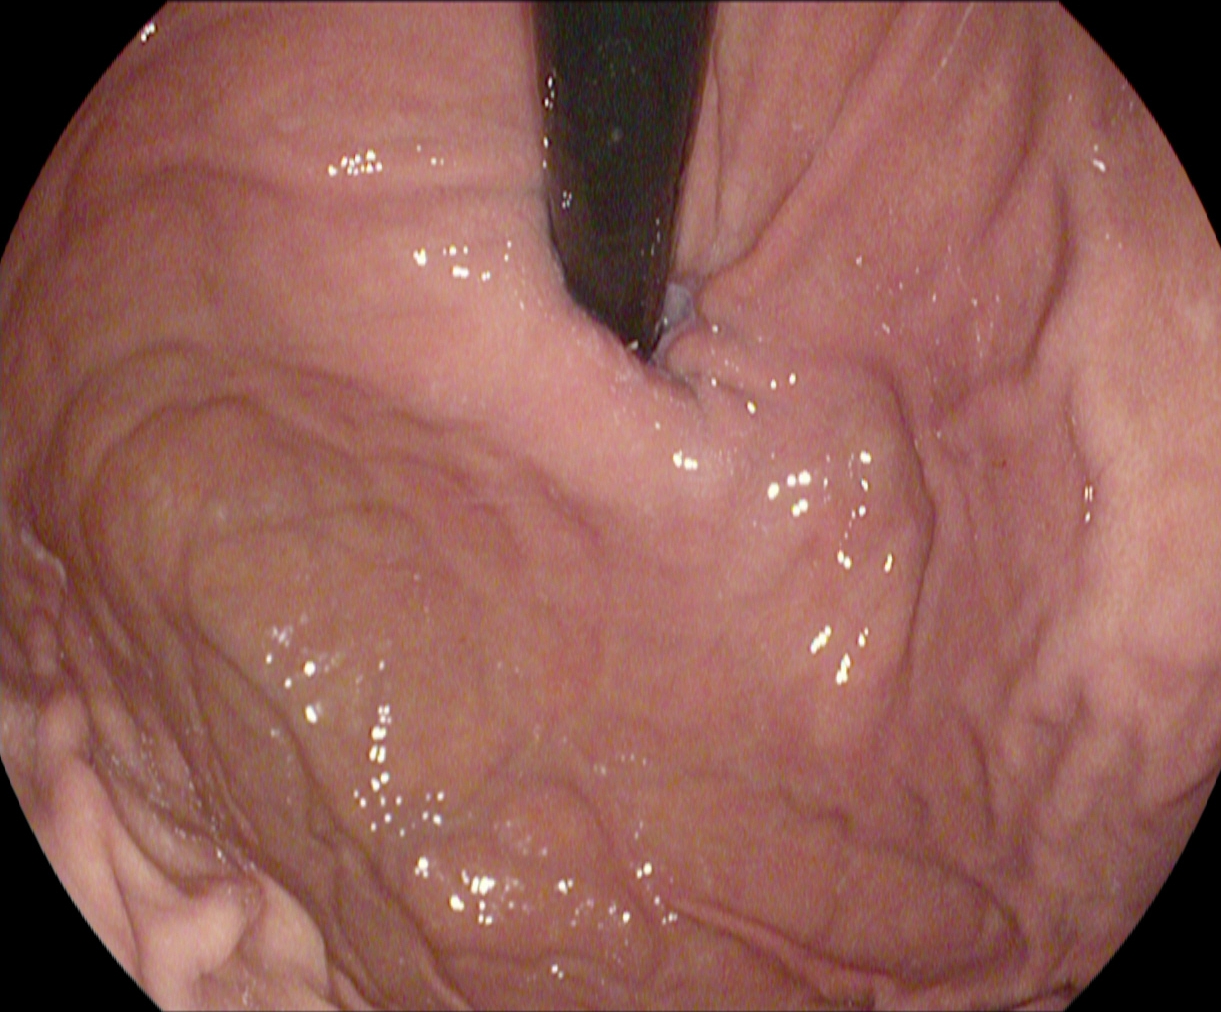modality: gastroscopy; tract: upper GI tract; category: anatomical landmark; finding: stomach in retroflexion